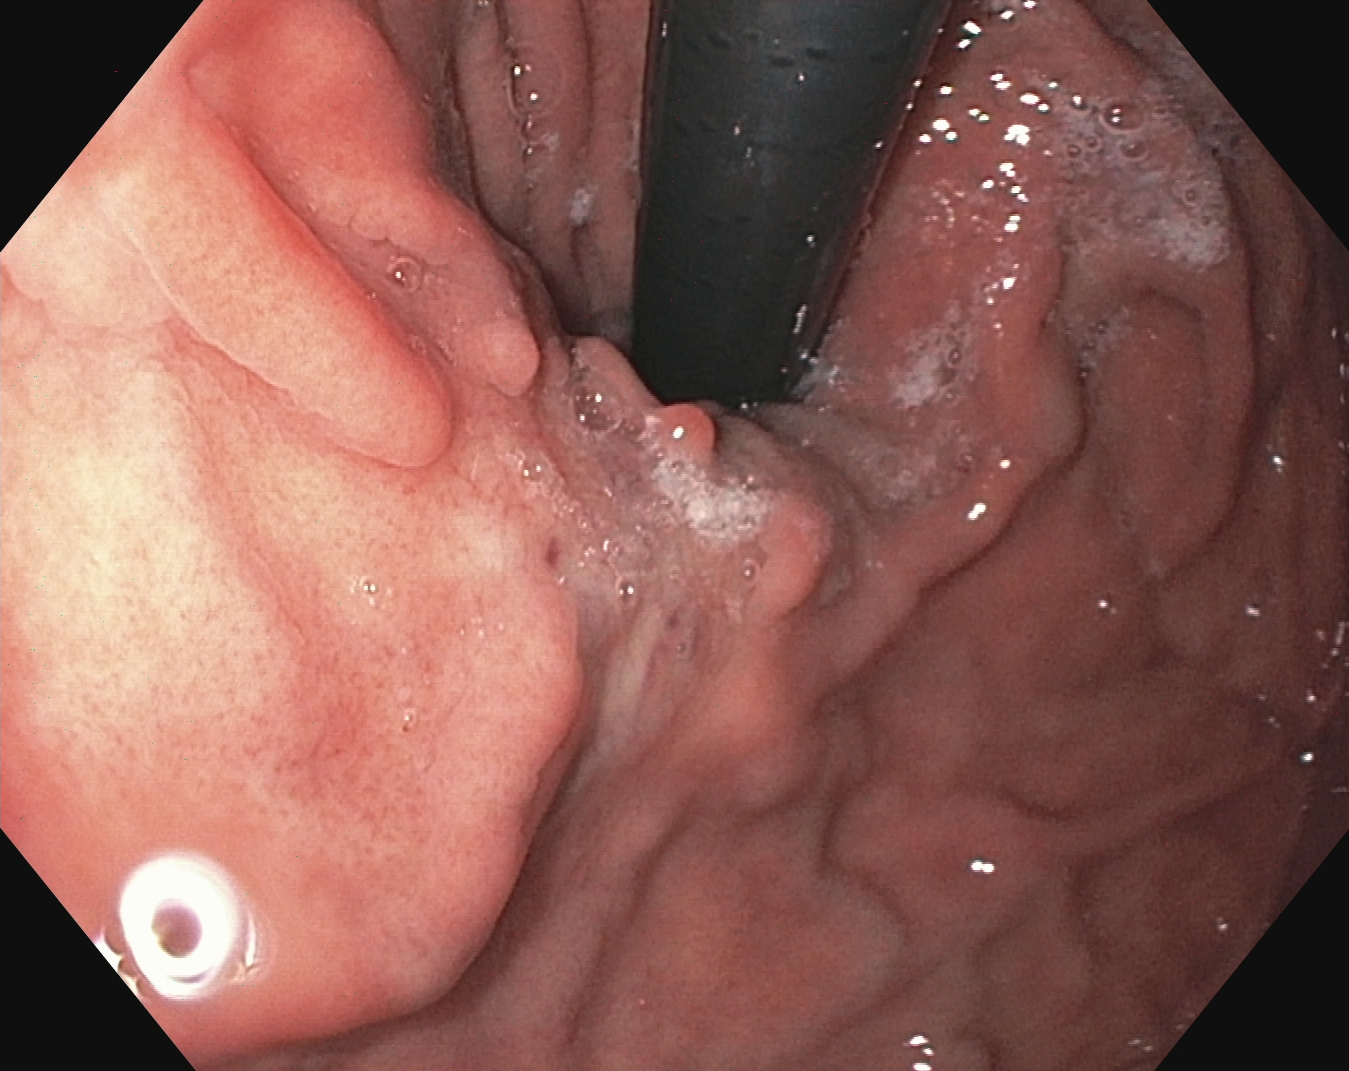PROCEDURE: Upper-GI endoscopy.
FINDINGS: Stomach in retroflexion.